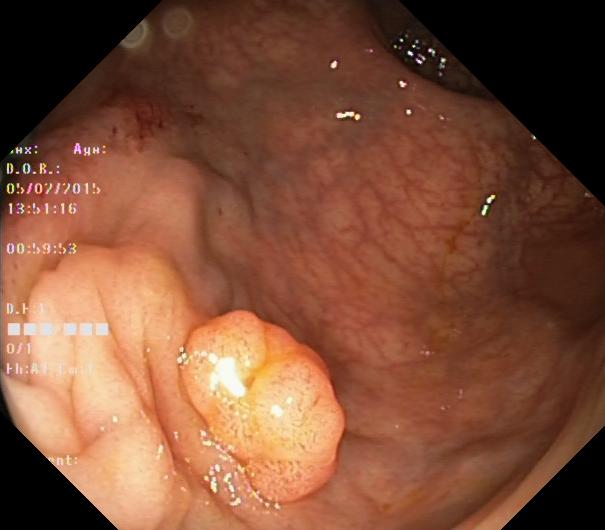Lower-GI endoscopy. Finding: colorectal polyp(s).